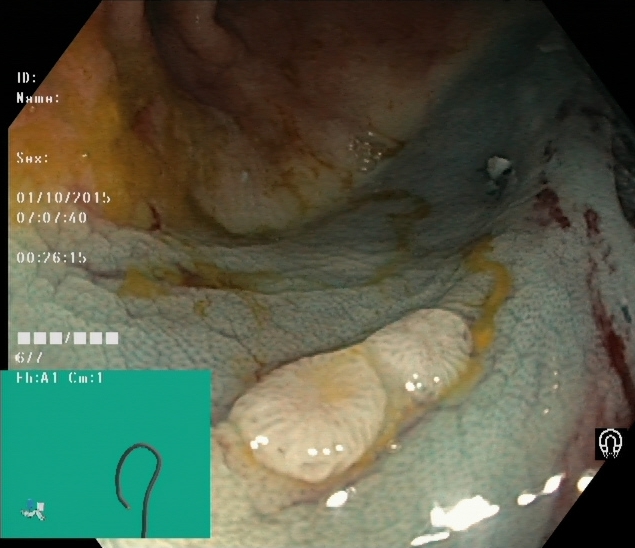{"modality": "lower-GI endoscopy", "tract": "lower GI tract", "finding": "dyed and lifted polyp (pre-resection)"}